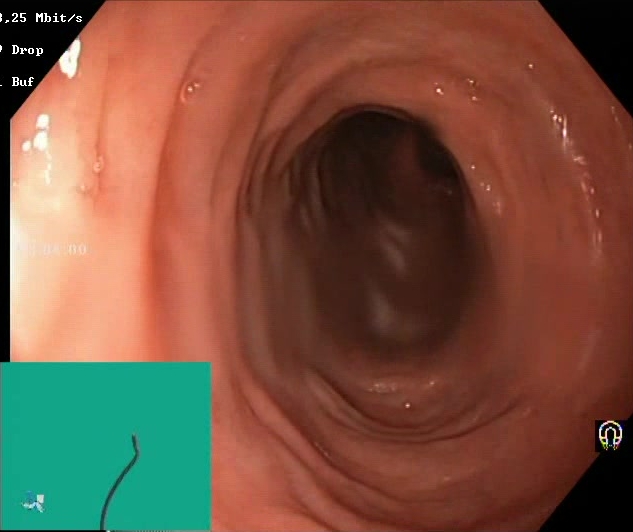This endoscopic image shows Boston Bowel Preparation Scale score 2–3 (adequate preparation).